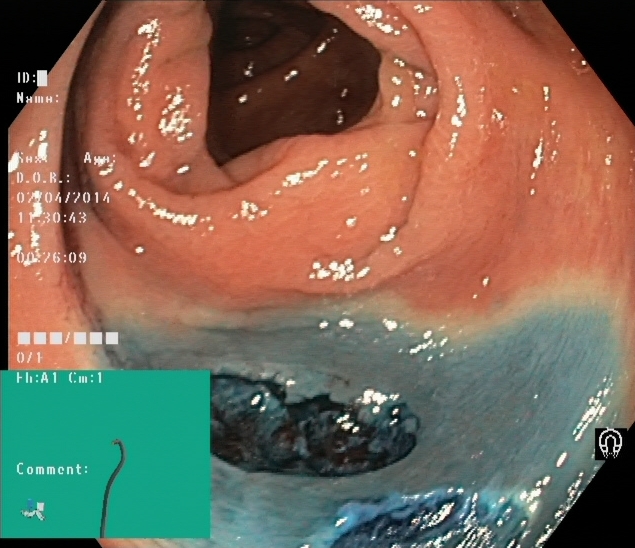Lower gastrointestinal endoscopy. Tract: lower GI tract. Finding: dyed resection margins (post-polypectomy).